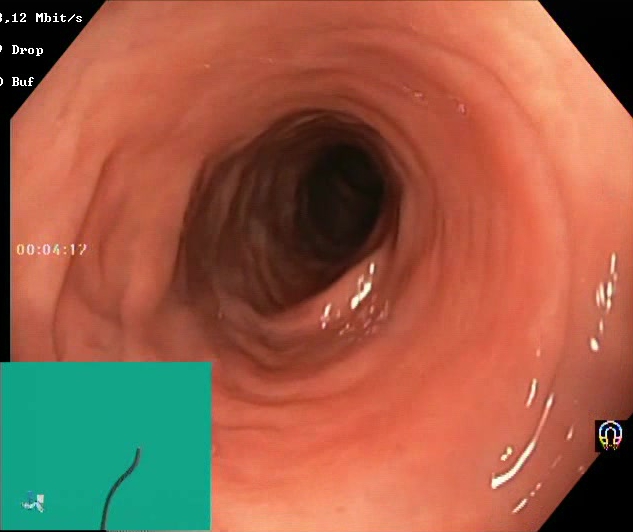modality: lower gastrointestinal endoscopy; tract: lower GI tract; finding: Boston Bowel Preparation Scale score 2–3 (adequate preparation)